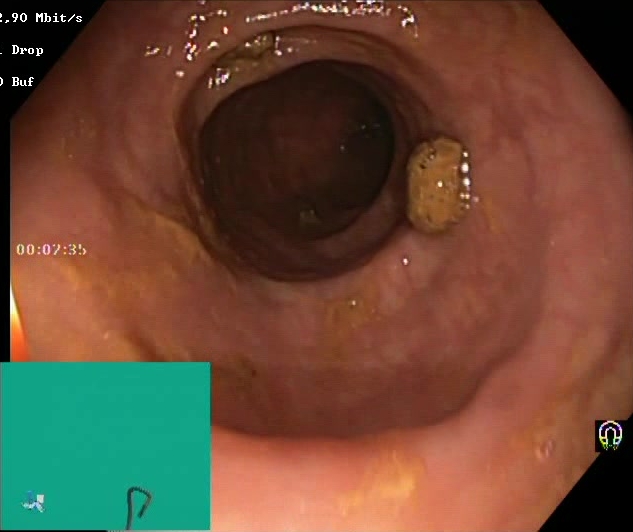This endoscopy frame shows Boston Bowel Preparation Scale score 2–3 (adequate preparation).